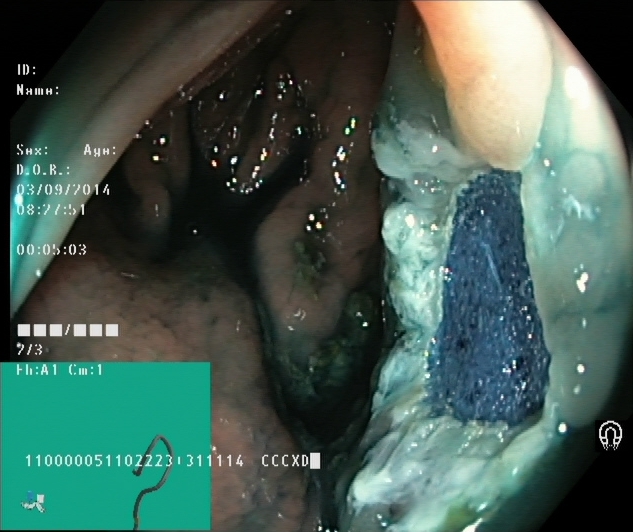{"modality": "colonoscopy", "category": "therapeutic intervention", "finding": "dyed resection margins (post-polypectomy)"}